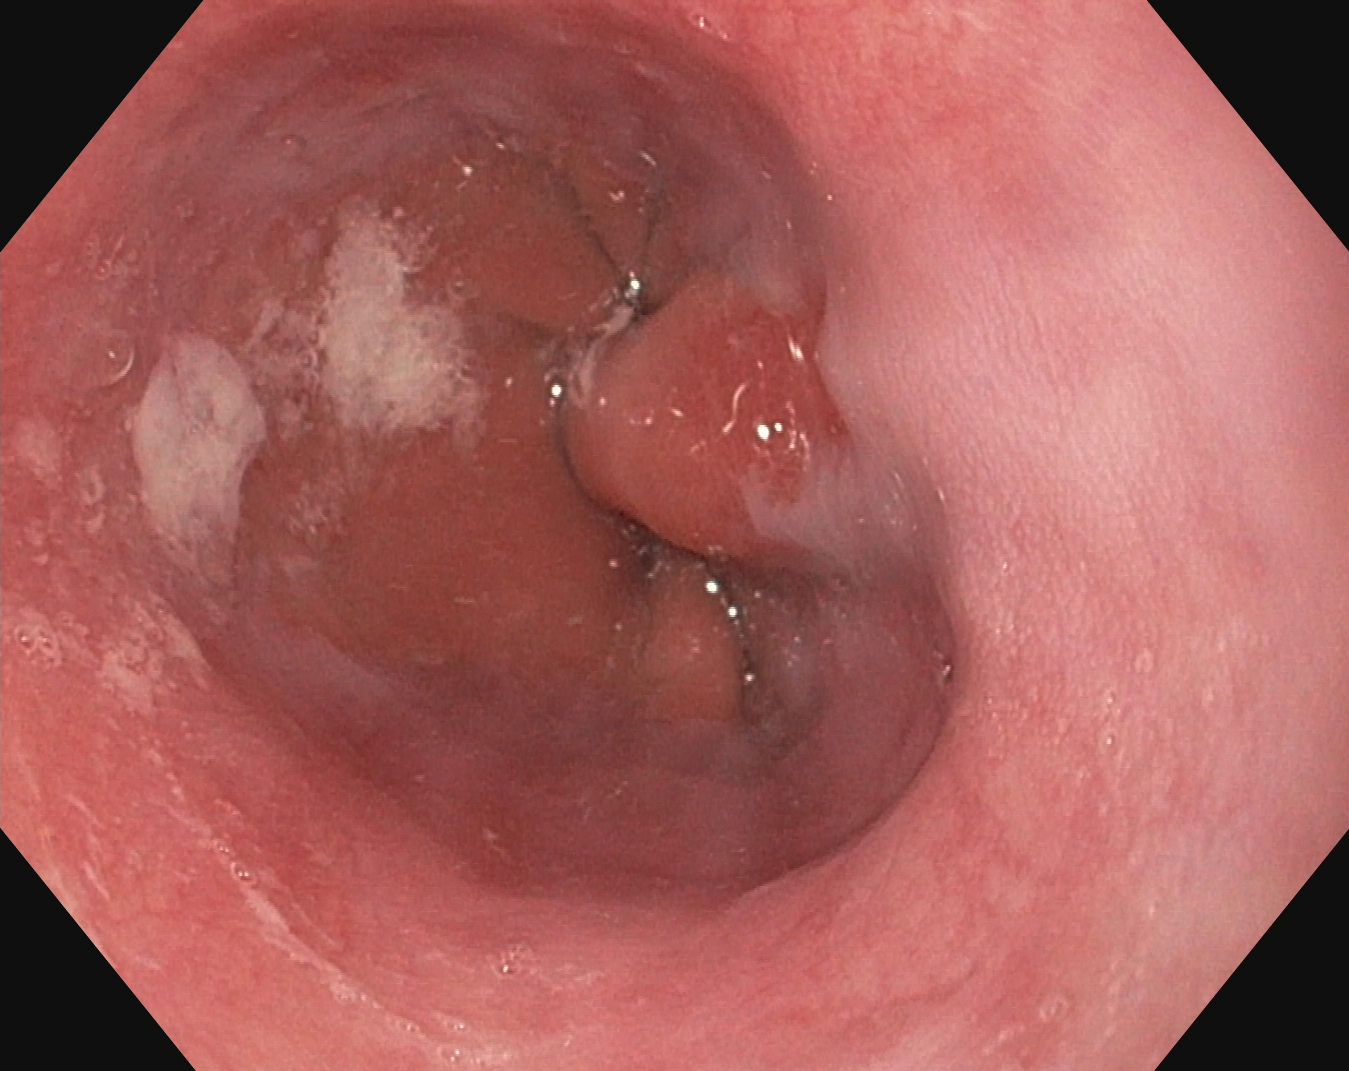{"modality": "EGD", "tract": "upper GI tract", "category": "pathological finding", "finding": "reflux esophagitis, Los Angeles grade A"}